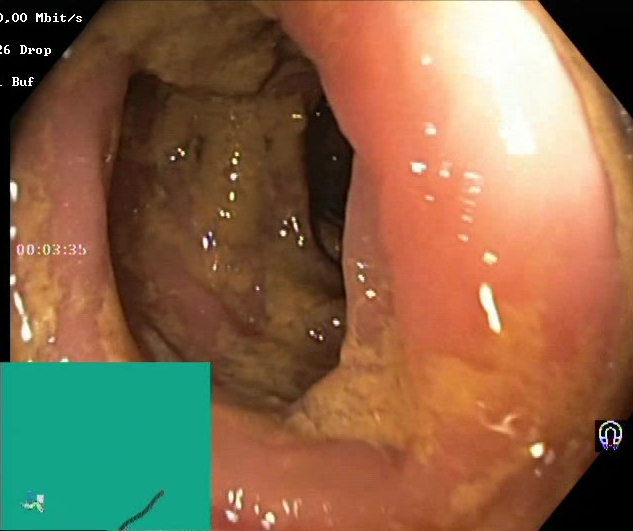BBPS score 0–1 (inadequate preparation).